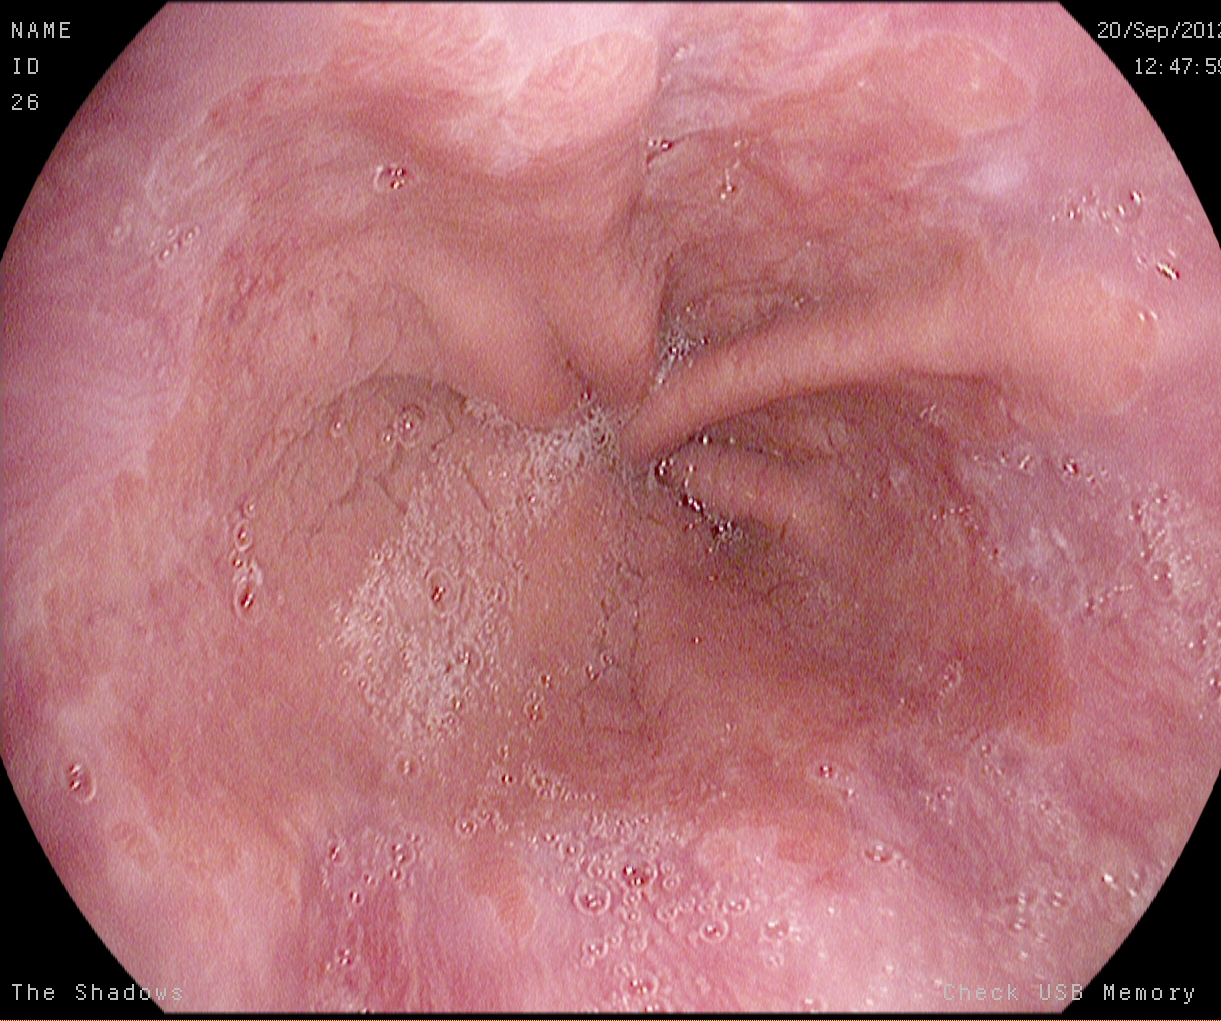This endoscopy frame of the upper GI tract shows Barrett's esophagus.